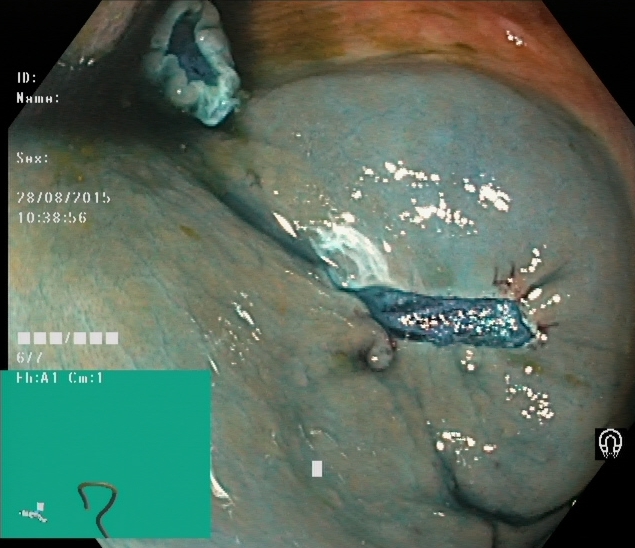This endoscopy frame of the lower GI tract shows dyed resection margins (post-polypectomy).